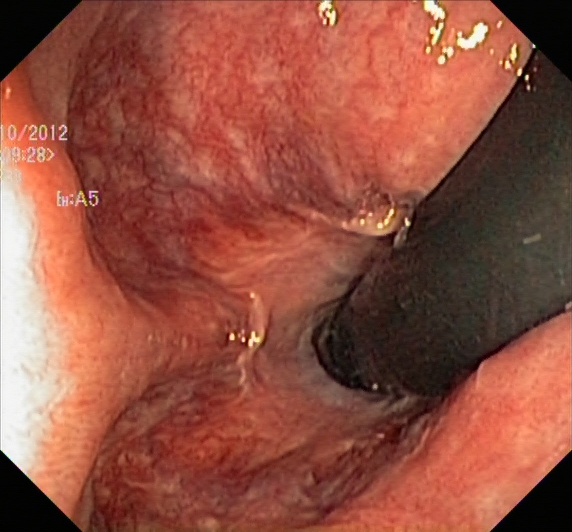PROCEDURE: Colonoscopy.
FINDINGS: Rectum in retroflexion.